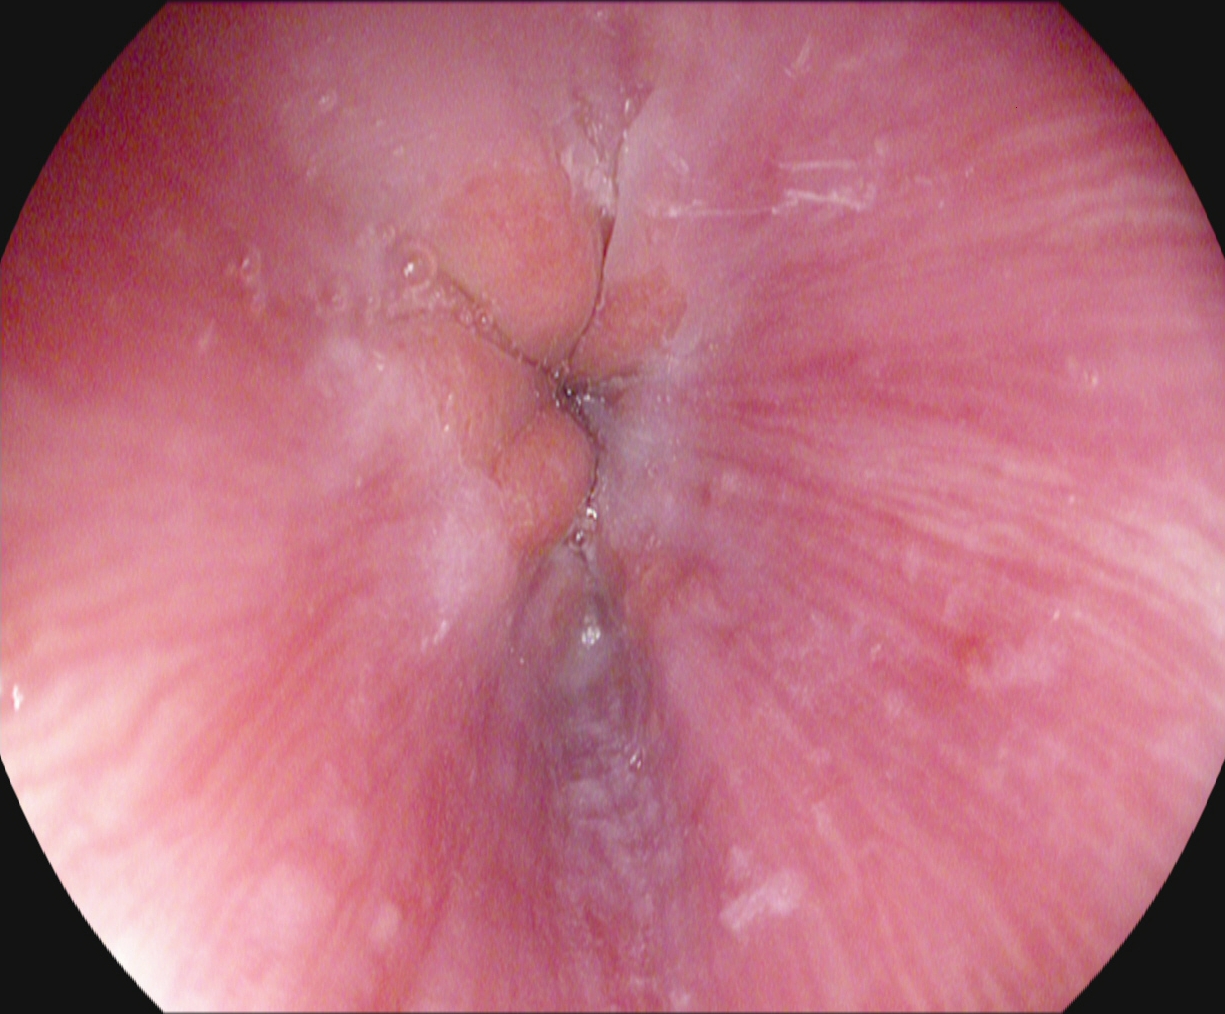{"modality": "esophagogastroduodenoscopy", "category": "anatomical landmark", "finding": "Z-line (gastroesophageal junction)"}